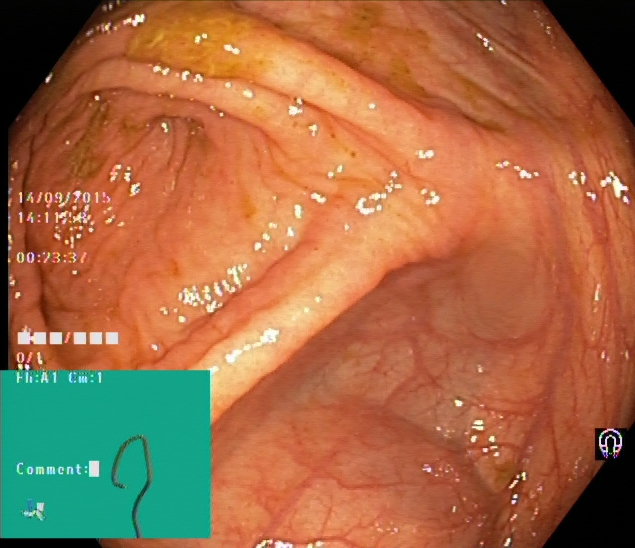{"modality": "colonoscopy", "tract": "lower GI tract", "category": "anatomical landmark", "finding": "cecum"}